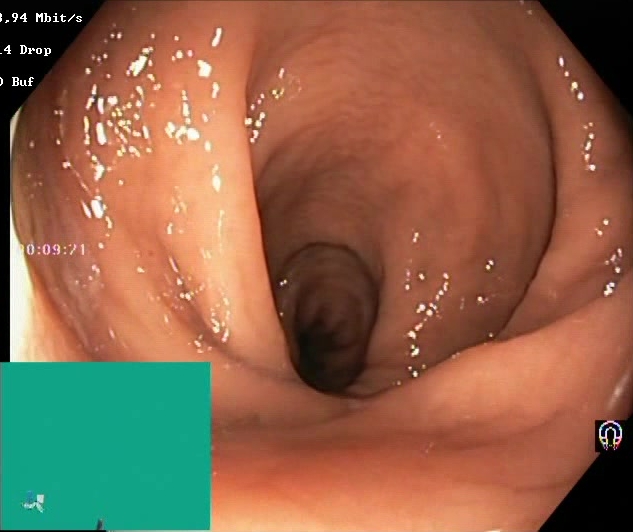{"modality": "lower gastrointestinal endoscopy", "tract": "lower GI tract", "category": "mucosal-view quality", "finding": "BBPS score 2\u20133 (adequate preparation)"}